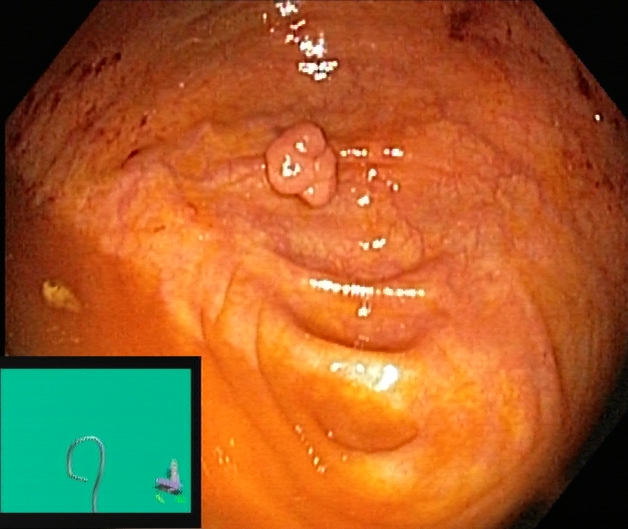Lower-GI endoscopy. Anatomical landmark. Finding: cecum.